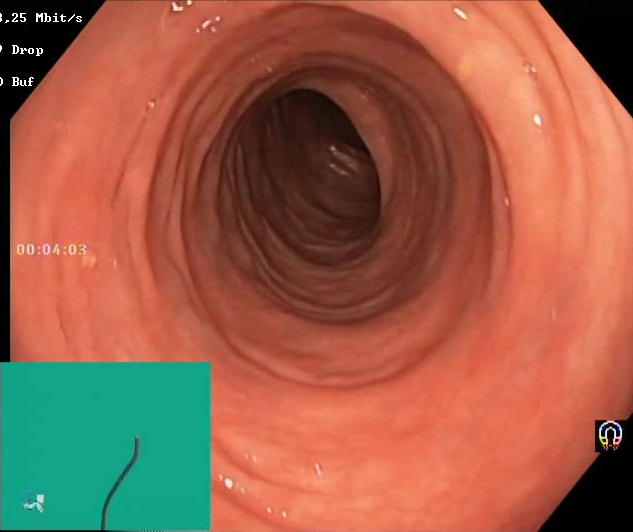Colonoscopy — Boston Bowel Preparation Scale score 2–3 (adequate preparation).